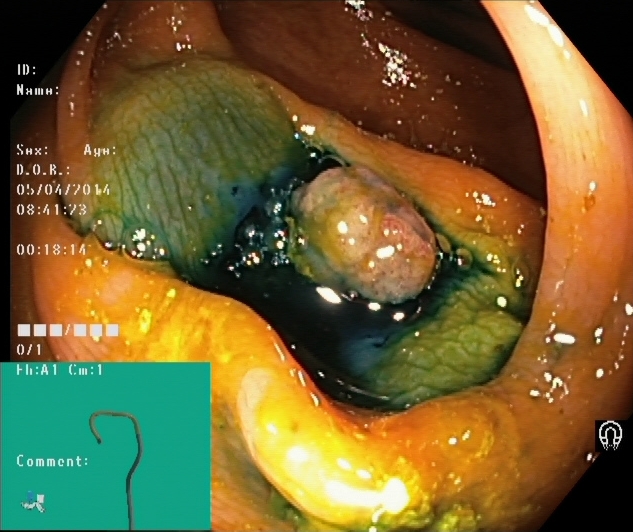Colonoscopy — dyed and lifted polyp (pre-resection).